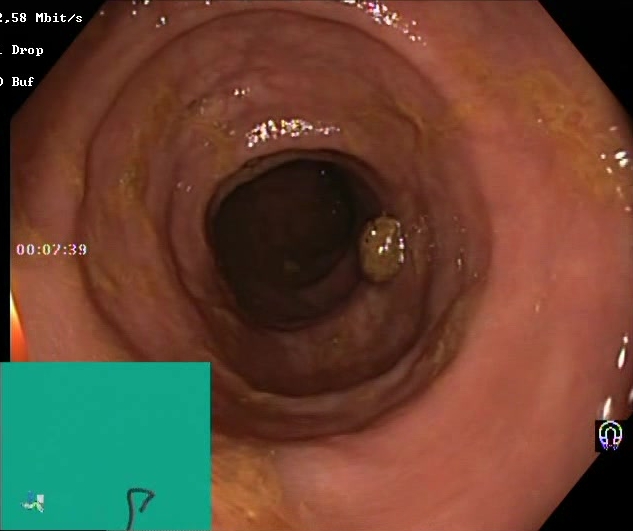This endoscopic image of the lower GI tract shows BBPS score 2–3 (adequate preparation).